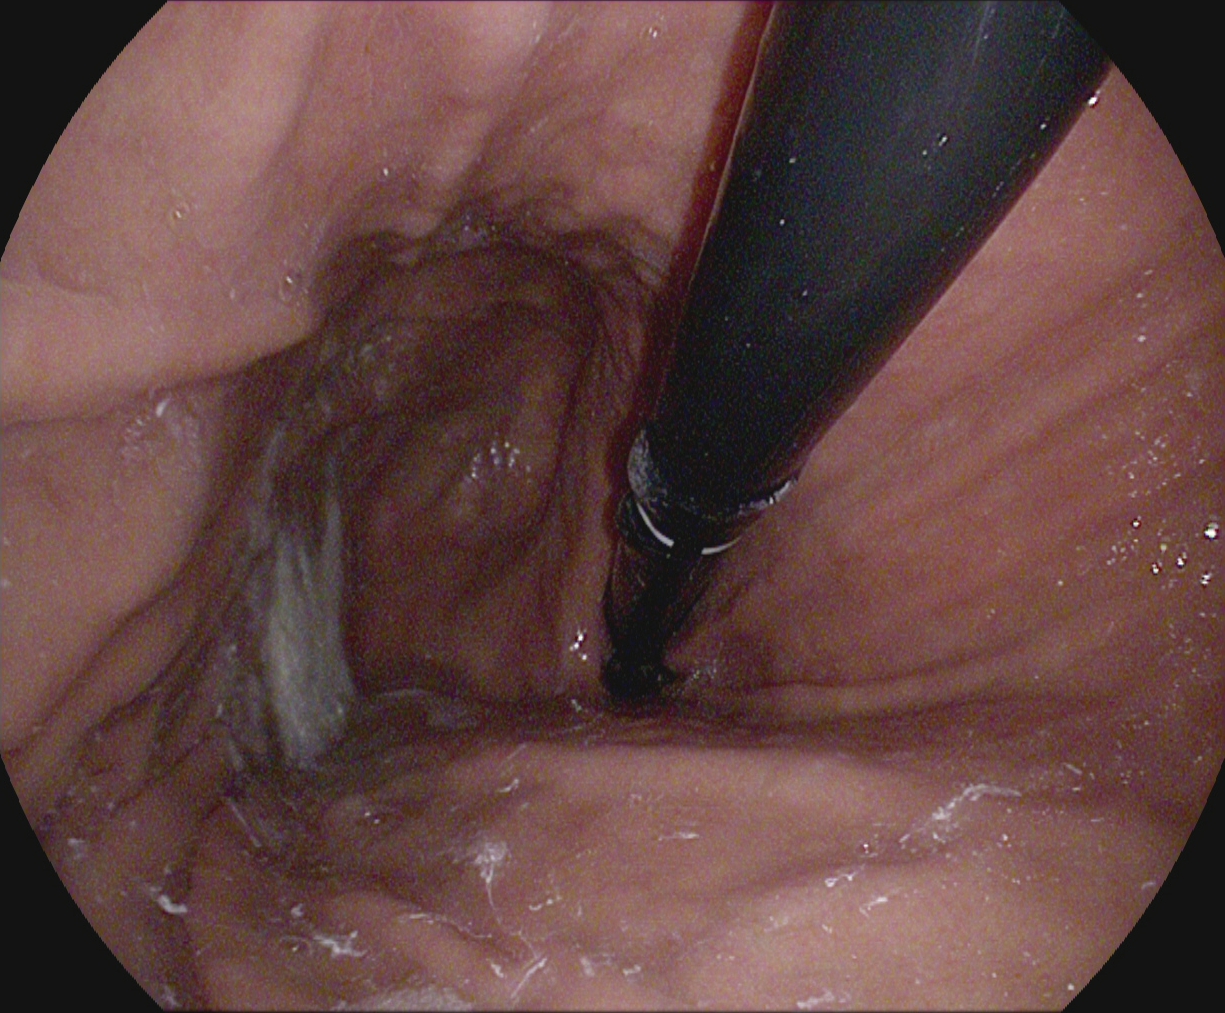PROCEDURE: Upper-GI endoscopy.
FINDINGS: Stomach in retroflexion.